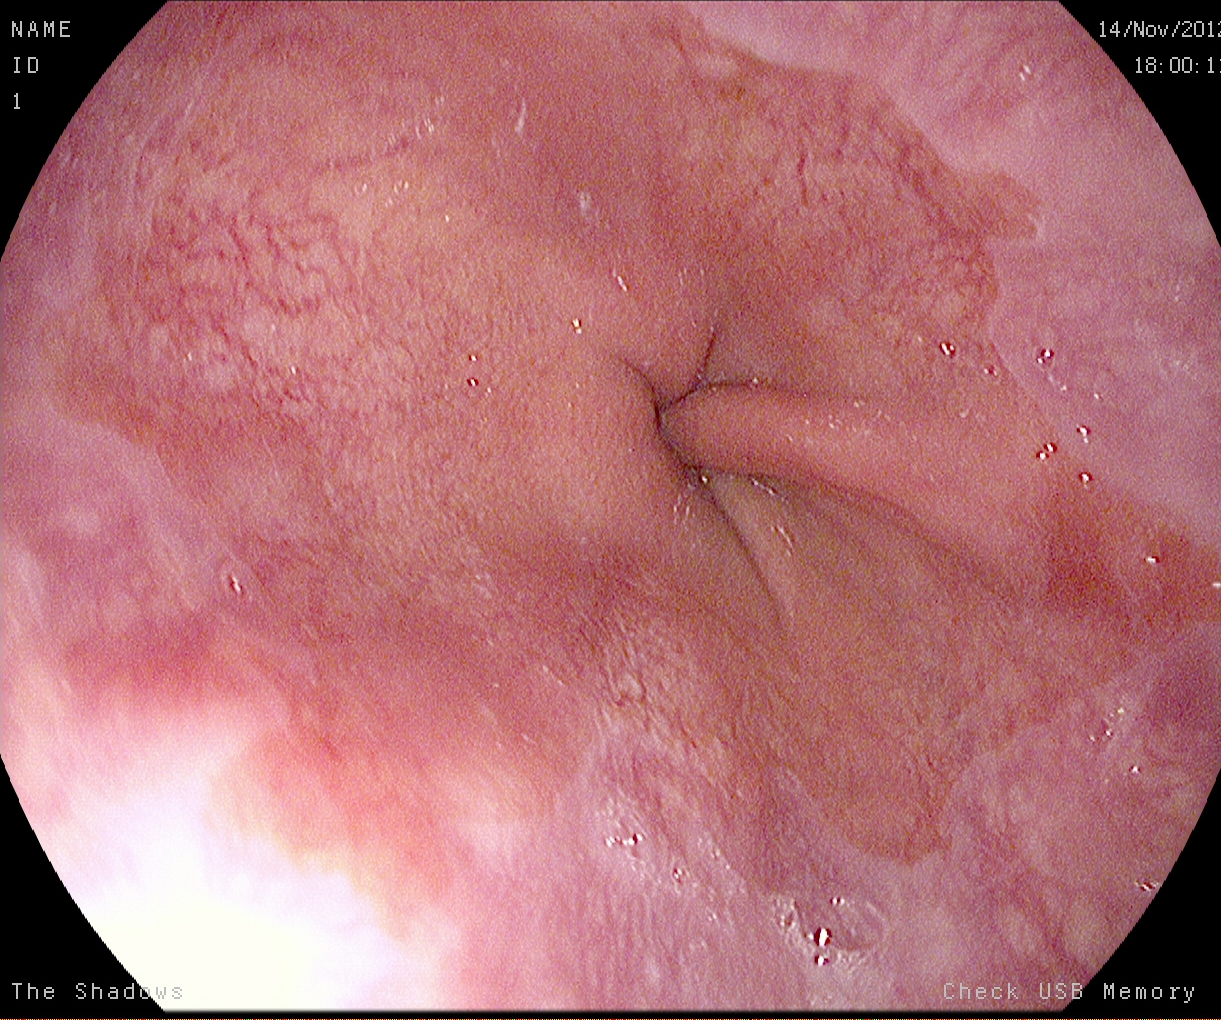PROCEDURE: Esophagogastroduodenoscopy.
FINDINGS: Reflux esophagitis, LA grade A.